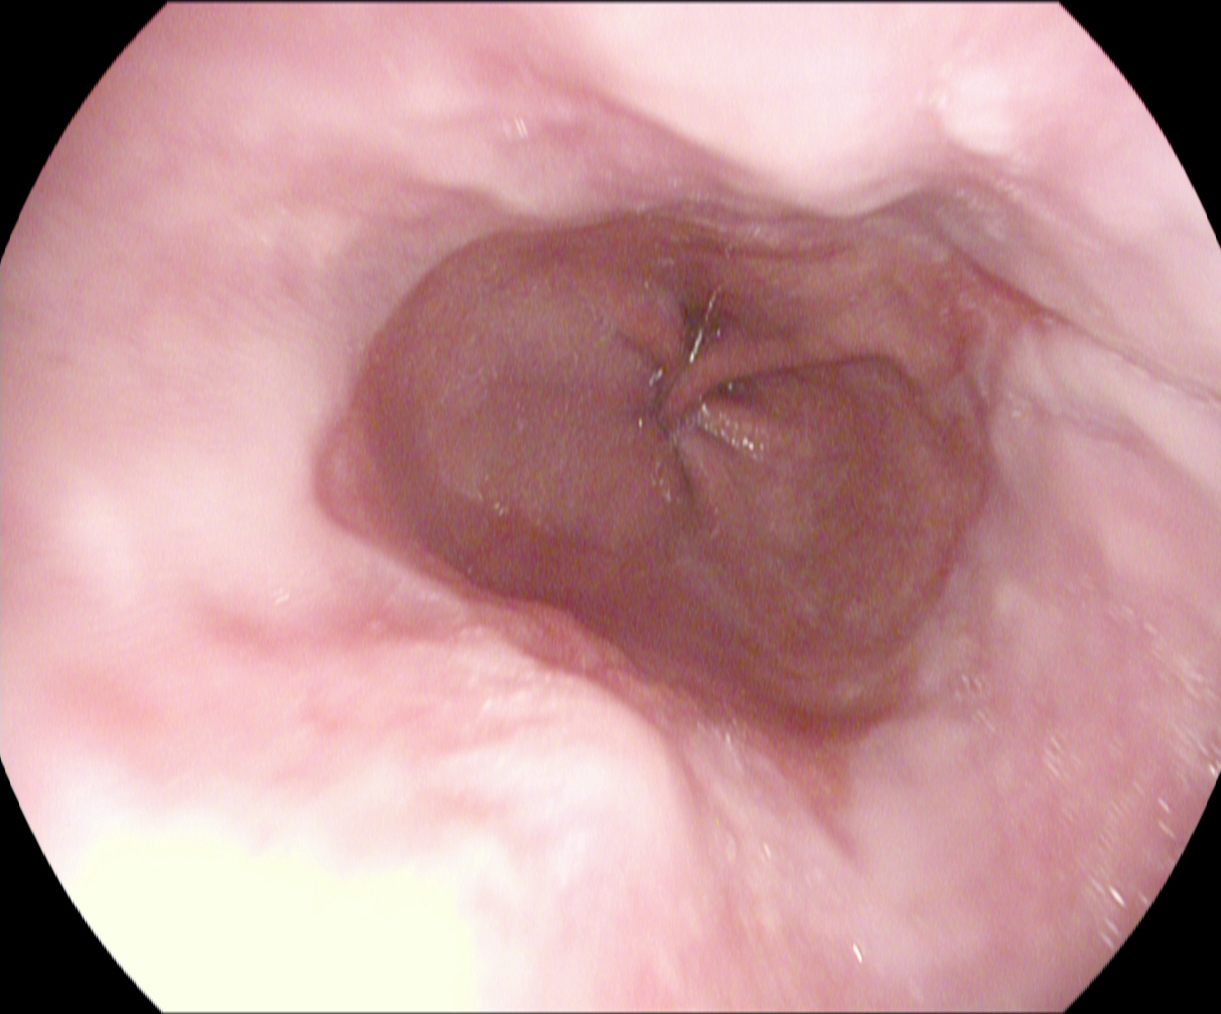reflux esophagitis, LA grade A.